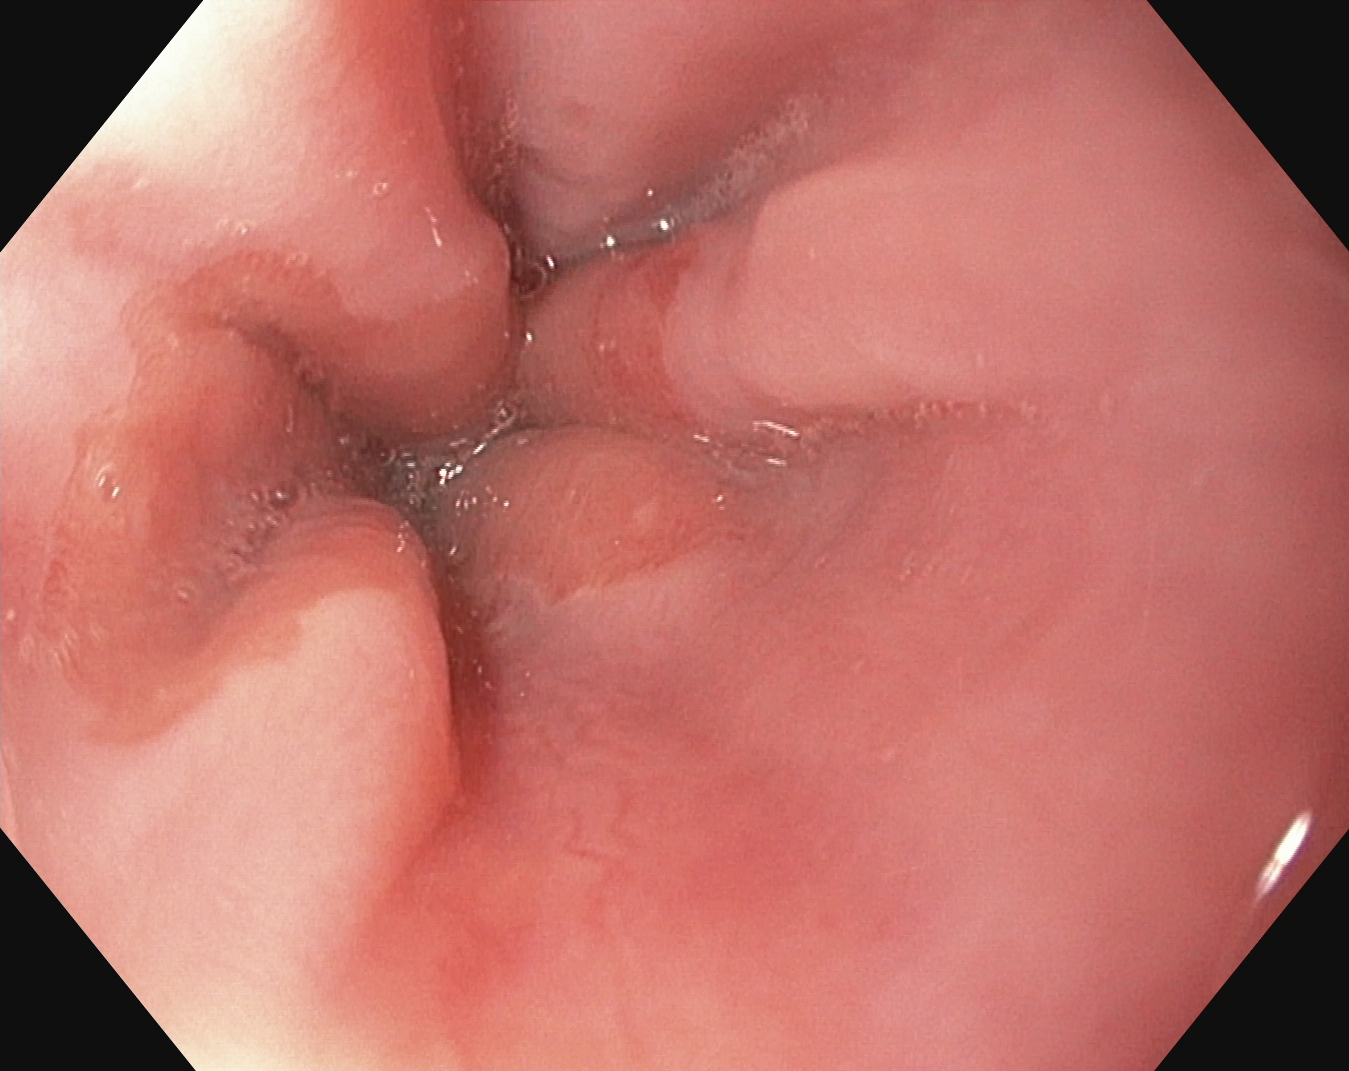Z-line (gastroesophageal junction).